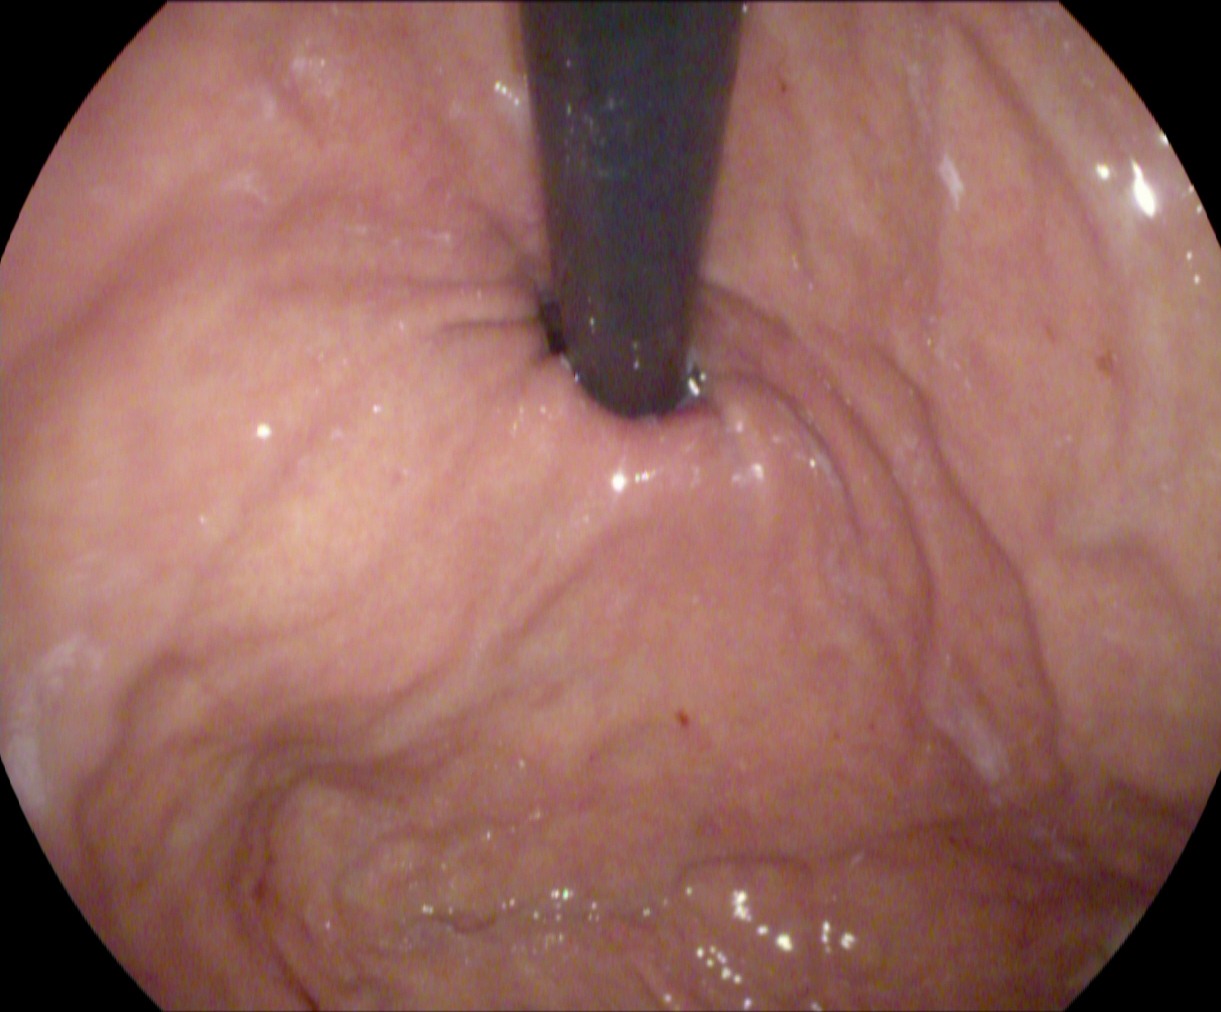Gastroscopy. Tract: upper GI tract. Anatomical landmark. Finding: stomach in retroflexion.